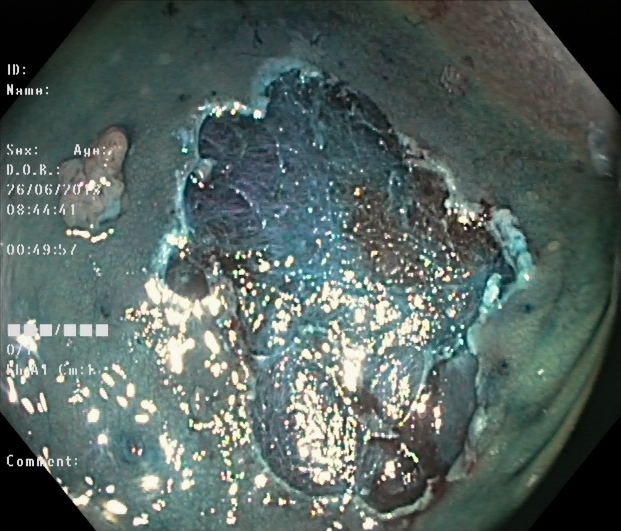modality: lower gastrointestinal endoscopy
category: therapeutic intervention
finding: dyed resection margins (post-polypectomy)